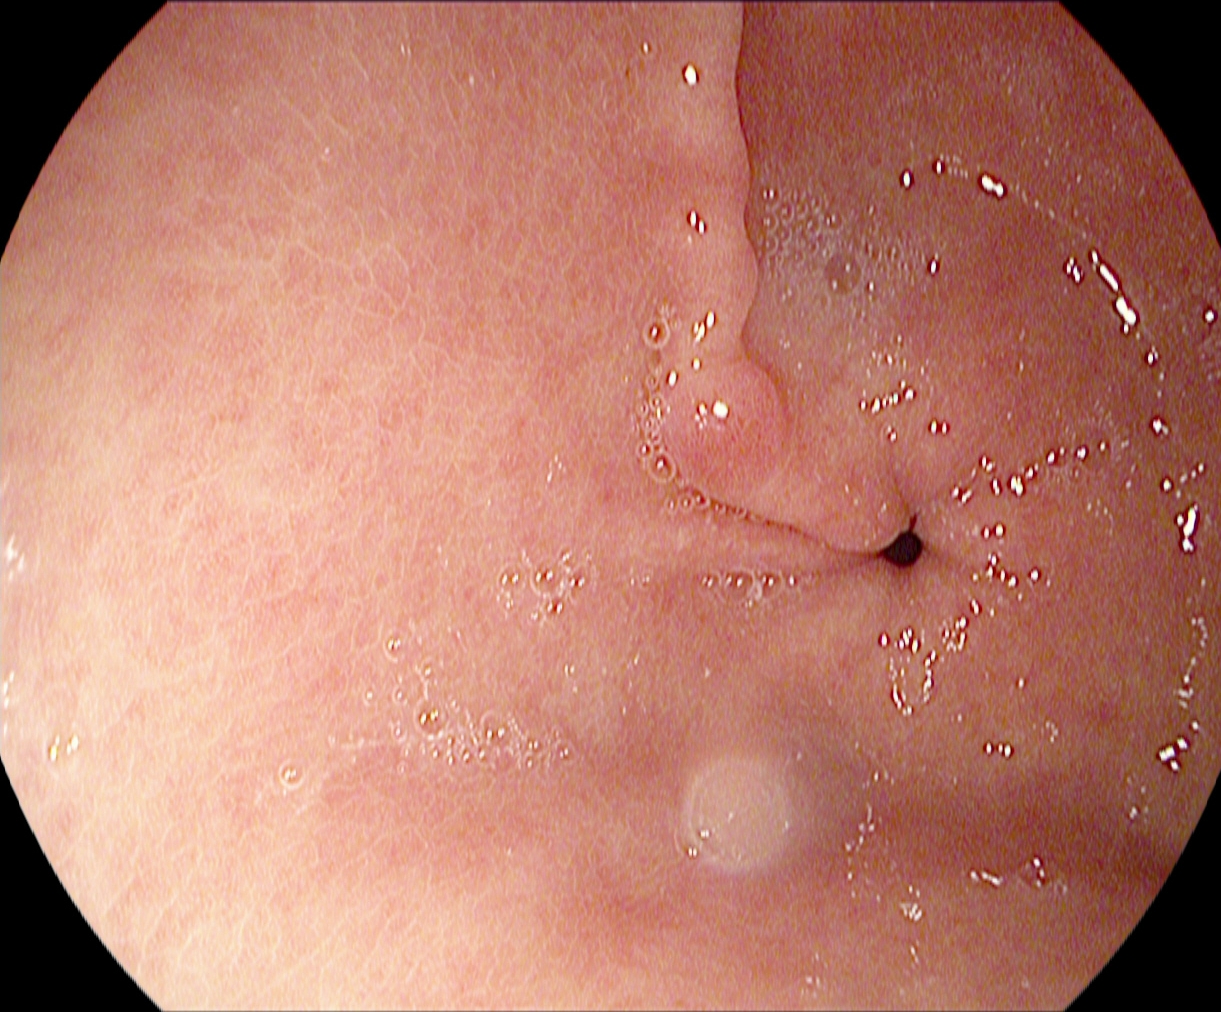Pylorus.